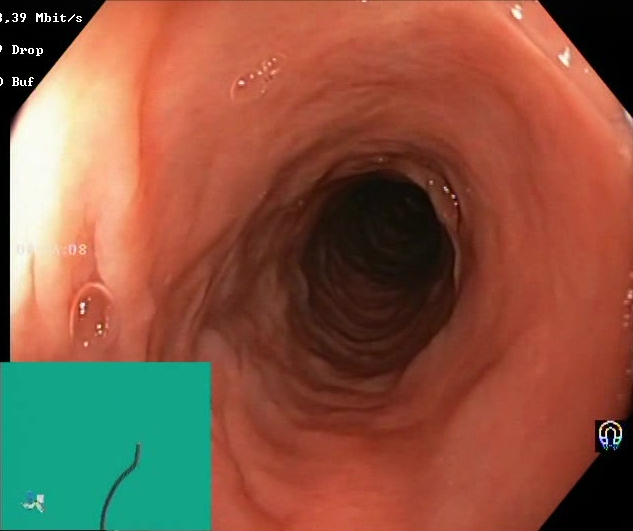This endoscopic image of the lower GI tract shows Boston Bowel Preparation Scale score 2–3 (adequate preparation).